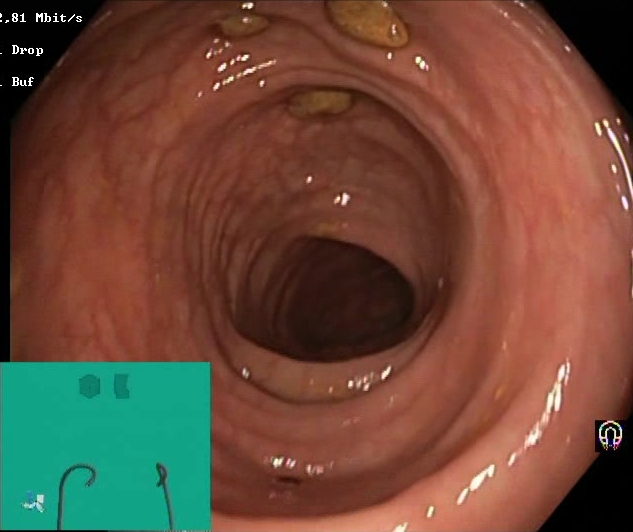Colonoscopy. Tract: lower GI tract. Finding: impacted stool.